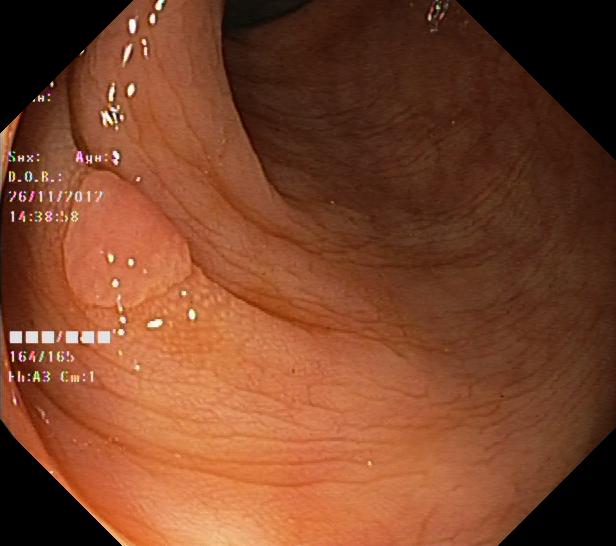This endoscopy frame of the lower GI tract shows colorectal polyp(s).